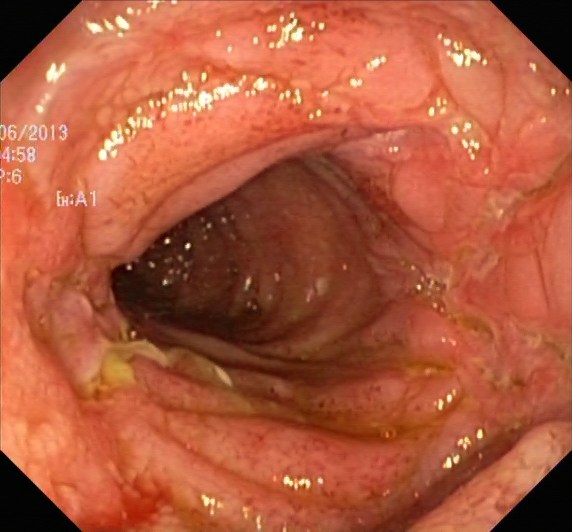PROCEDURE: Colonoscopy.
CATEGORY: Pathological finding.
FINDINGS: Ulcerative colitis, Mayo endoscopic subscore 1.